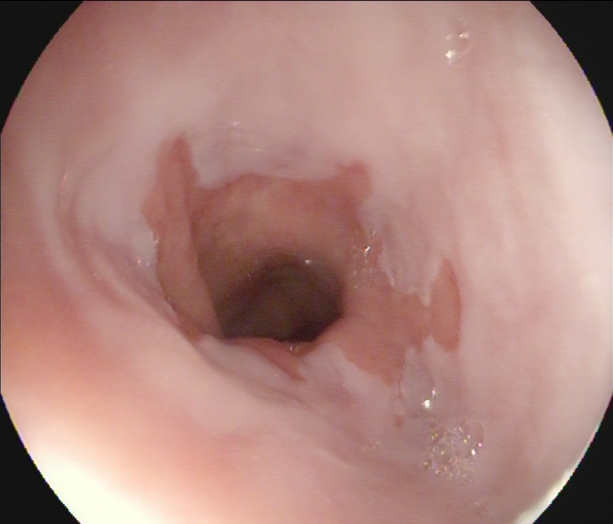Esophagogastroduodenoscopy. Tract: upper GI tract. Finding: Z-line (gastroesophageal junction).